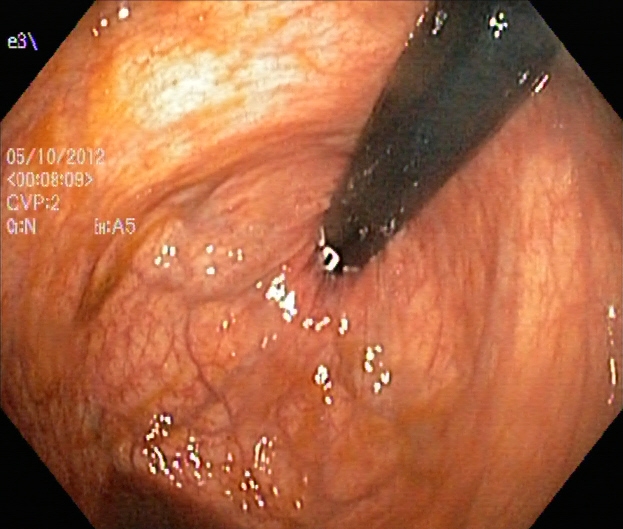modality: lower-GI endoscopy
finding: rectum in retroflexion